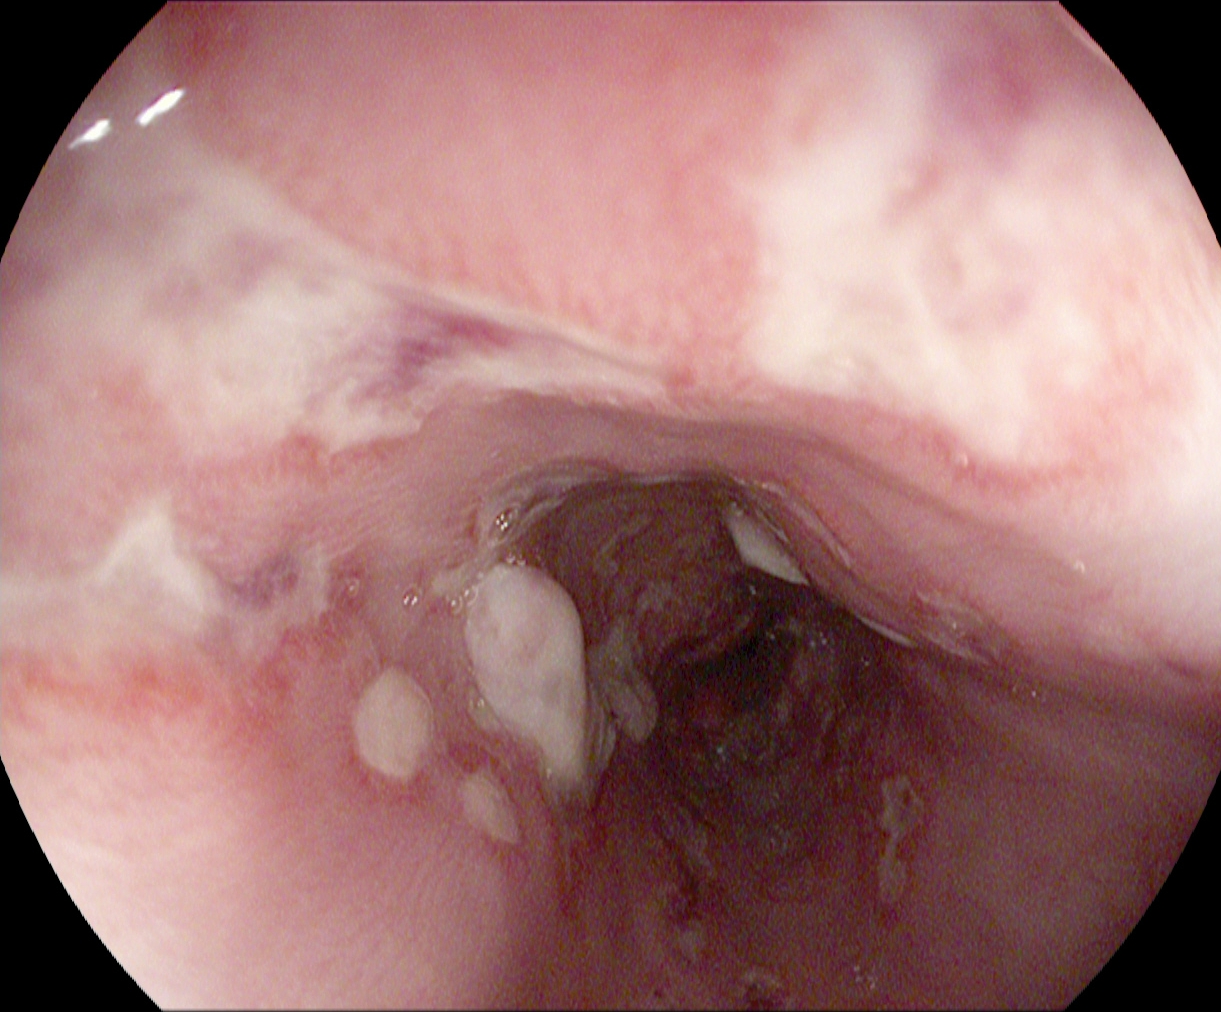This endoscopic image shows reflux esophagitis, Los Angeles grade B–D.